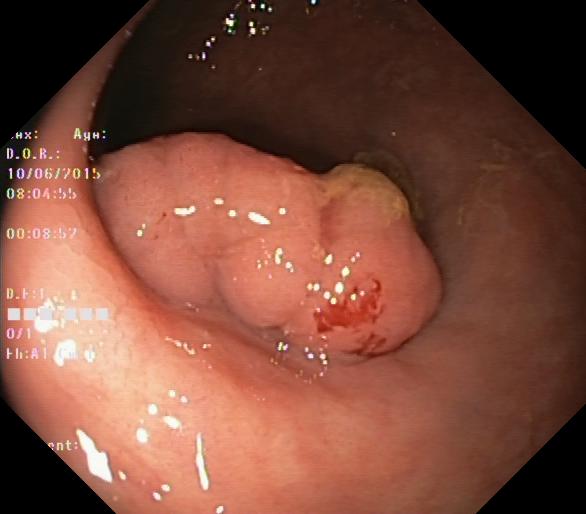Colorectal polyp(s).